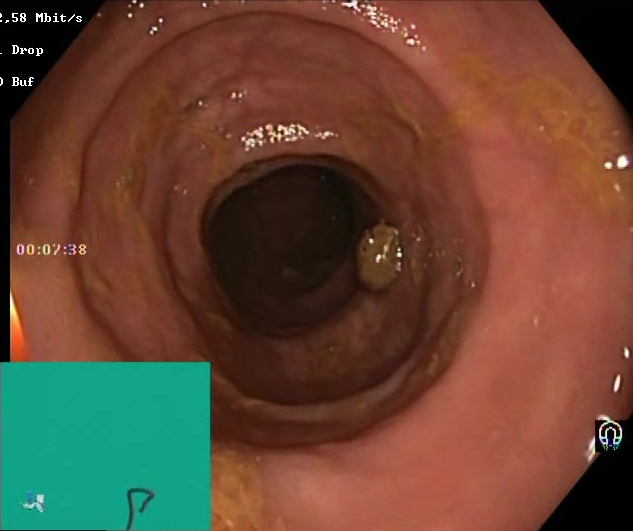Boston Bowel Preparation Scale score 2–3 (adequate preparation).